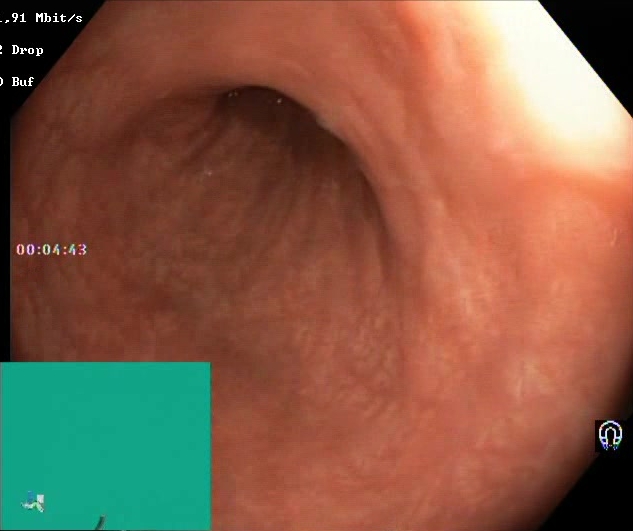PROCEDURE: Lower gastrointestinal endoscopy.
CATEGORY: Mucosal-view quality.
FINDINGS: BBPS score 2–3 (adequate preparation).